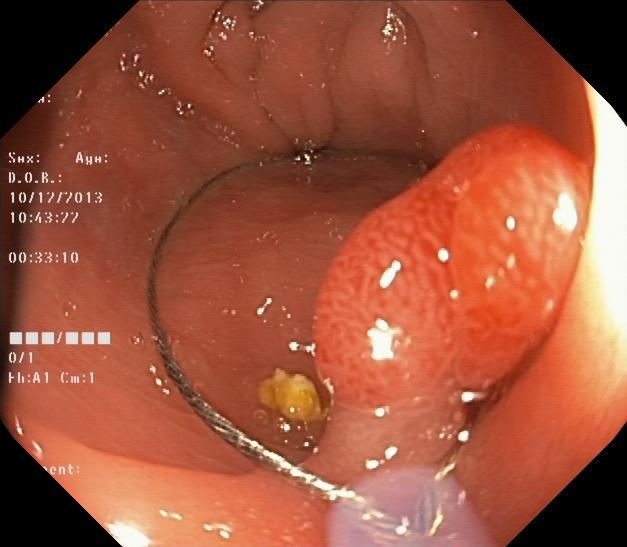modality: lower-GI endoscopy; category: pathological finding; finding: colorectal polyp(s)